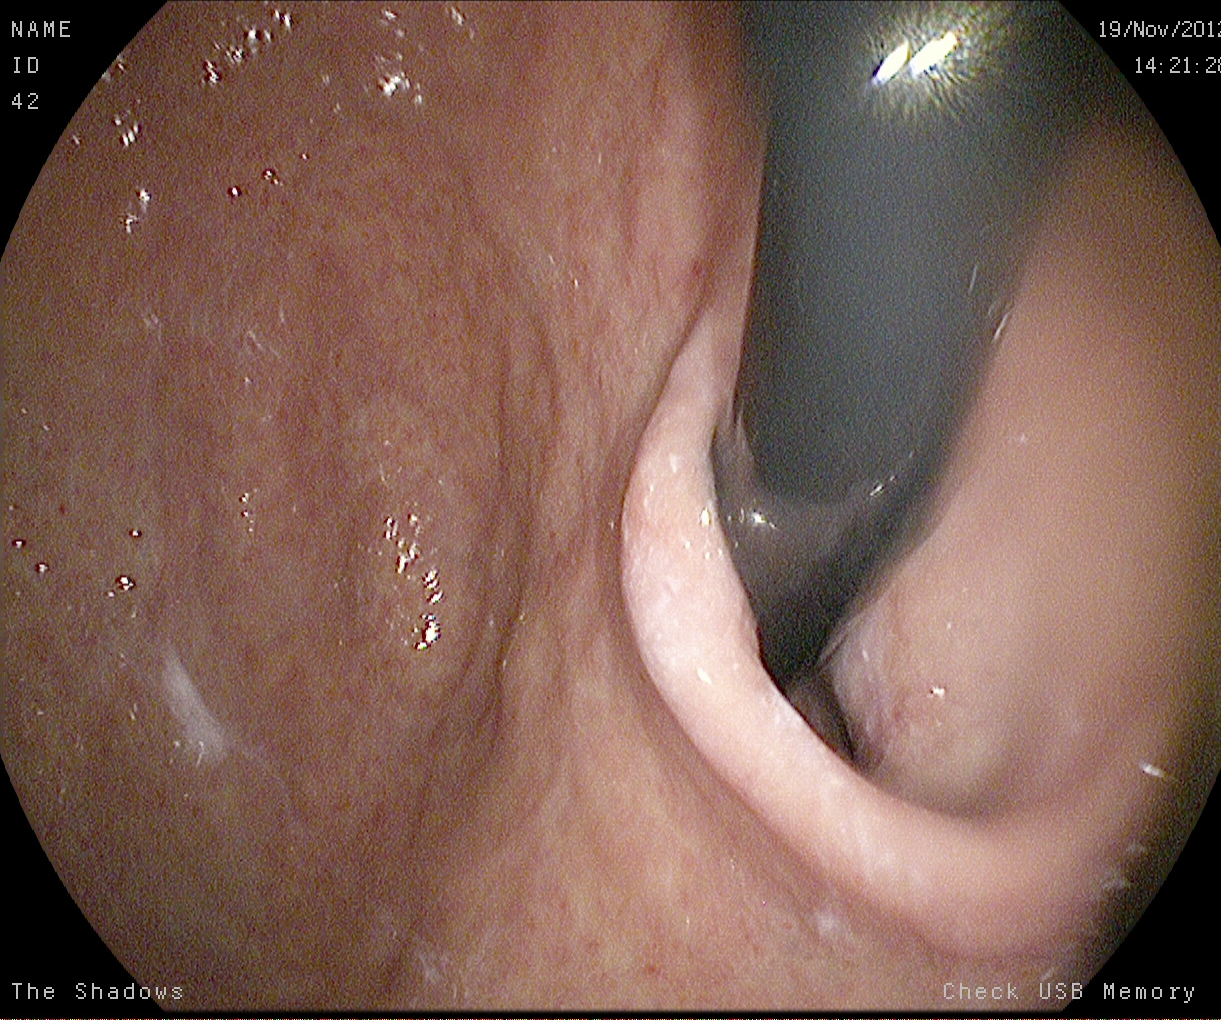modality: gastroscopy | tract: upper GI tract | finding: stomach in retroflexion